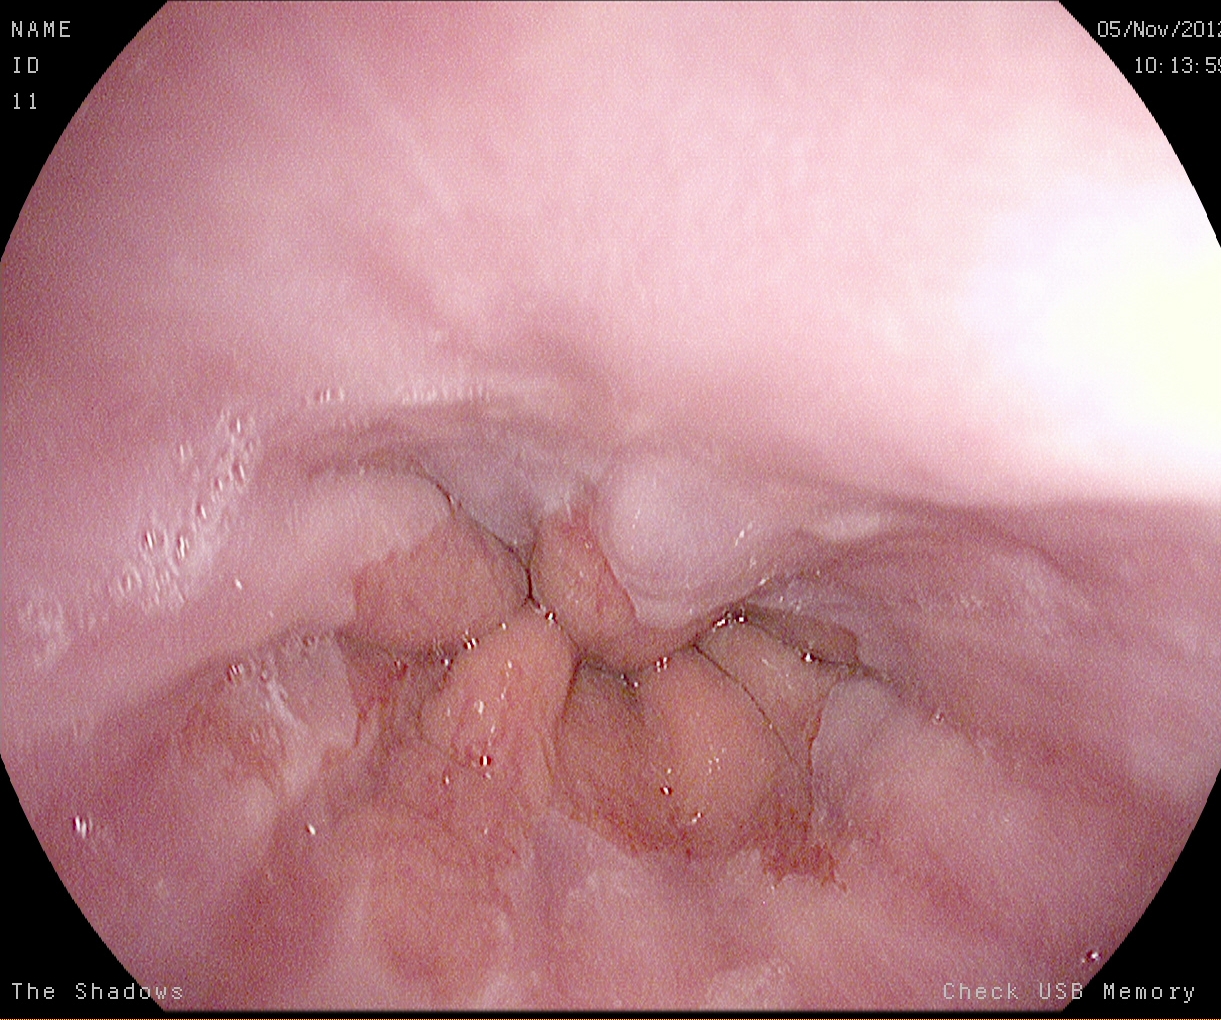modality: esophagogastroduodenoscopy | finding: Z-line (gastroesophageal junction)